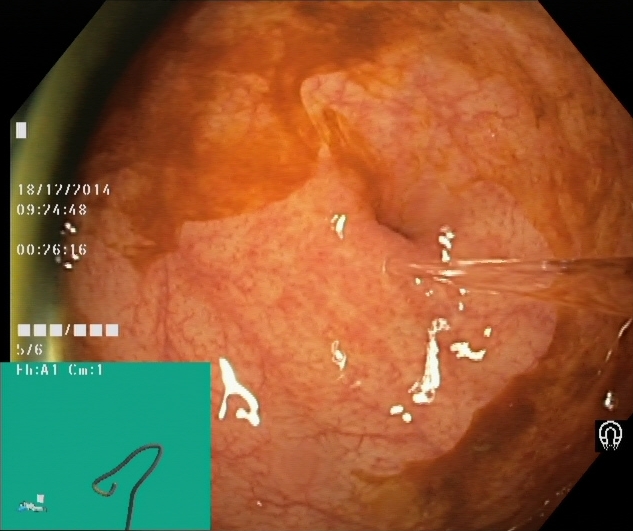PROCEDURE: Lower-GI endoscopy.
CATEGORY: Anatomical landmark.
FINDINGS: Cecum.